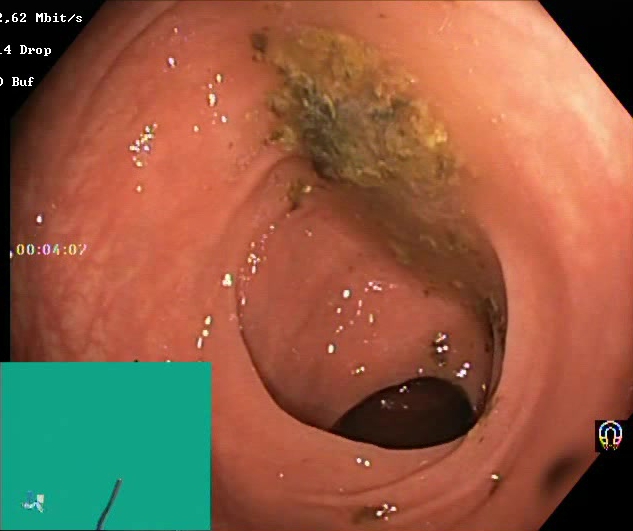{"modality": "colonoscopy", "finding": "Boston Bowel Preparation Scale score 0\u20131 (inadequate preparation)"}